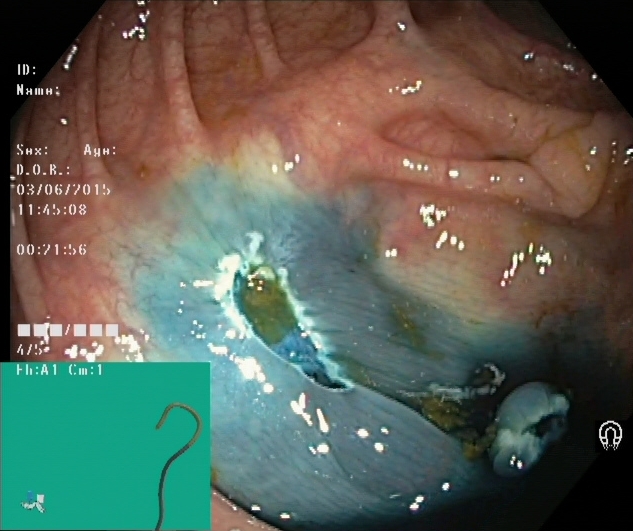Endoscopic frame showing dyed resection margins (post-polypectomy).